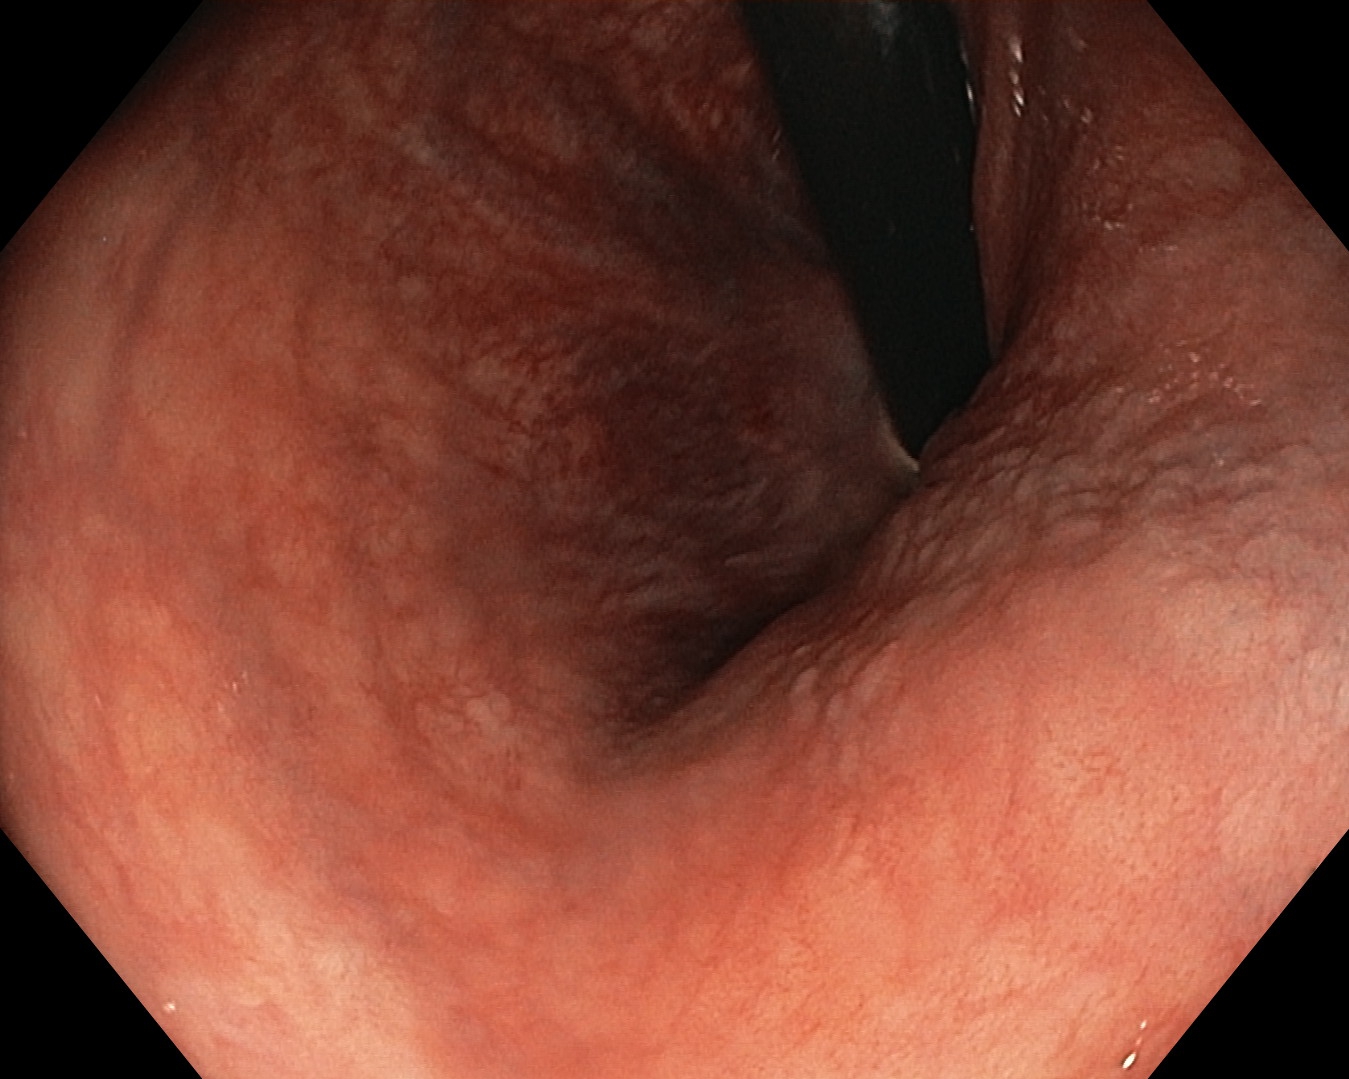{"modality": "lower-GI endoscopy", "tract": "lower GI tract", "finding": "rectum in retroflexion"}